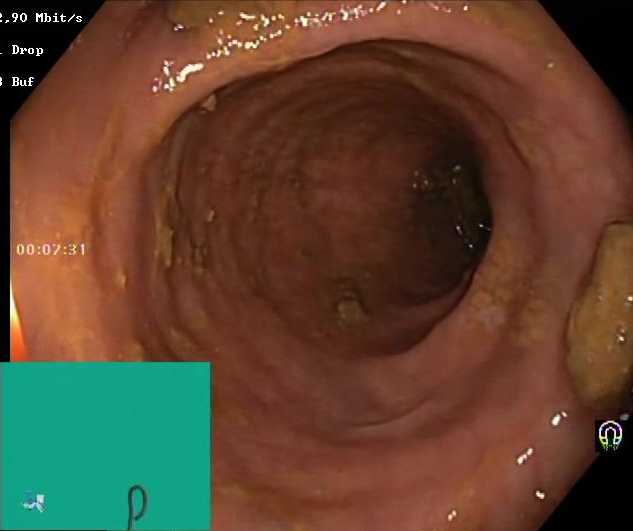modality: lower-GI endoscopy; category: mucosal-view quality; finding: BBPS score 2–3 (adequate preparation)